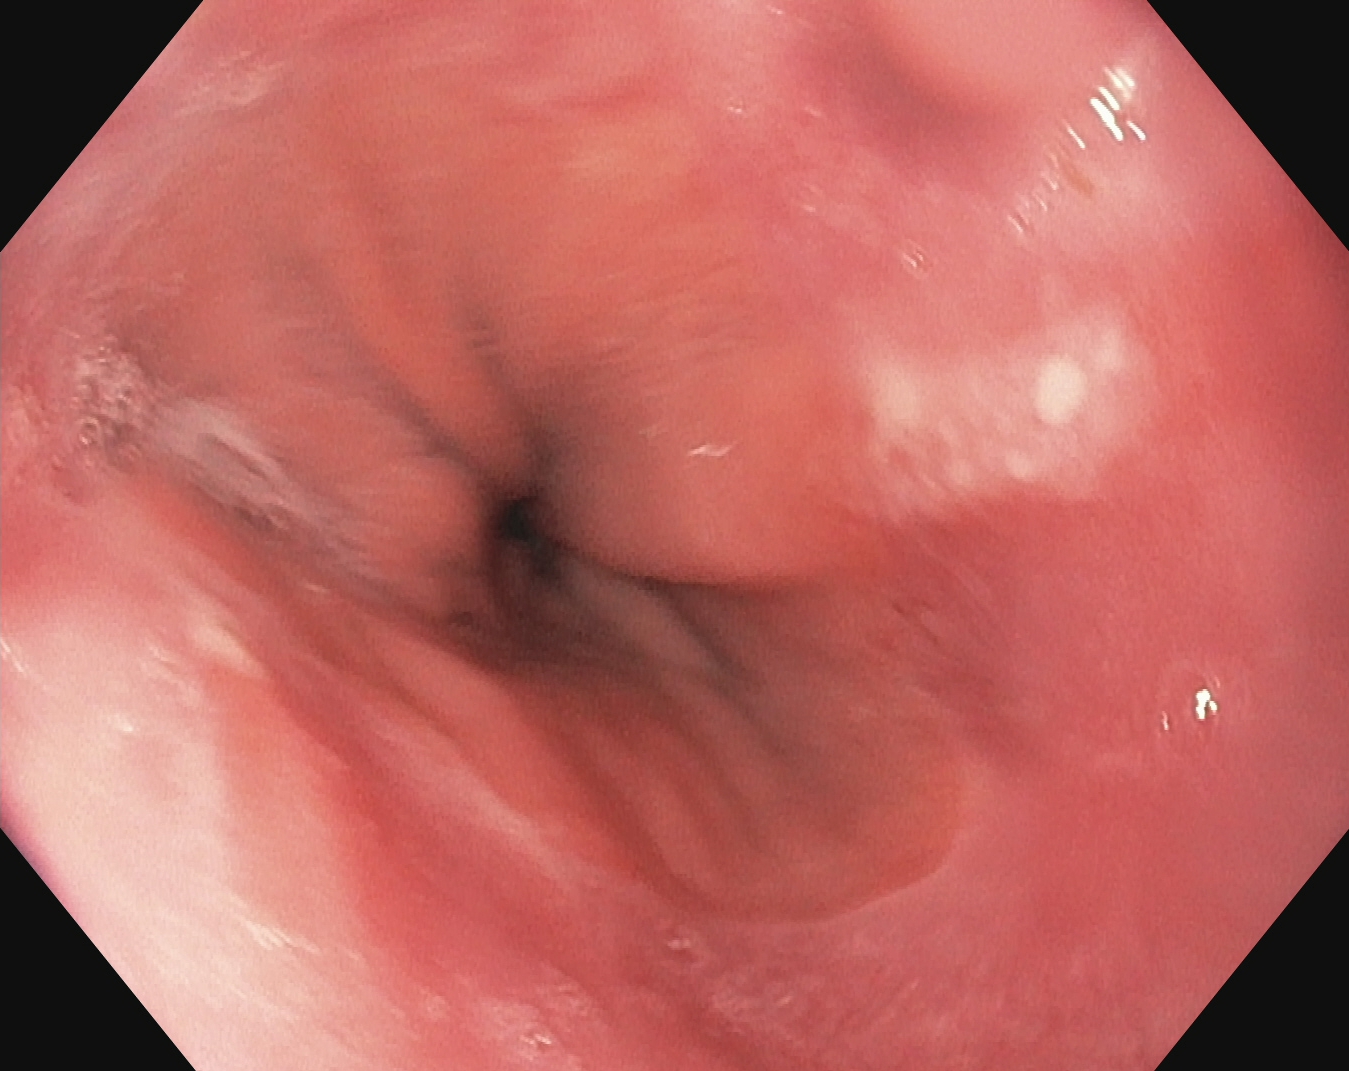Endoscopic image of the upper GI tract showing Z-line (gastroesophageal junction).